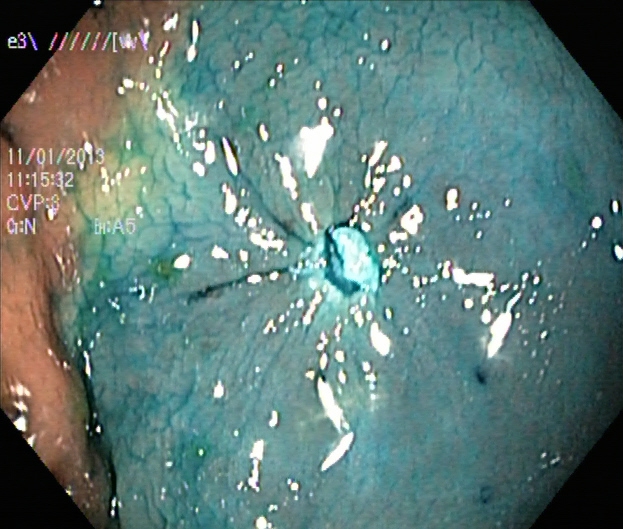{"modality": "lower gastrointestinal endoscopy", "tract": "lower GI tract", "finding": "dyed resection margins (post-polypectomy)"}